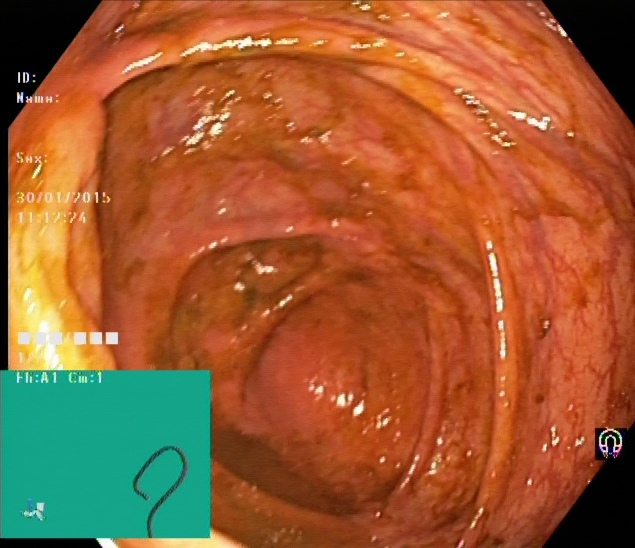modality: lower gastrointestinal endoscopy | finding: cecum